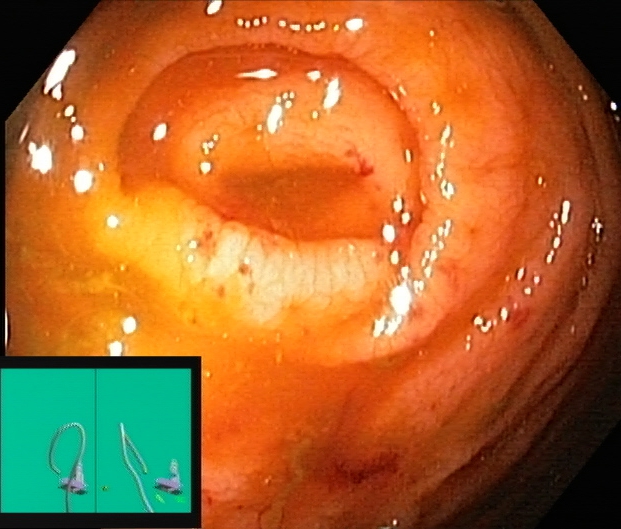This endoscopy frame shows cecum.